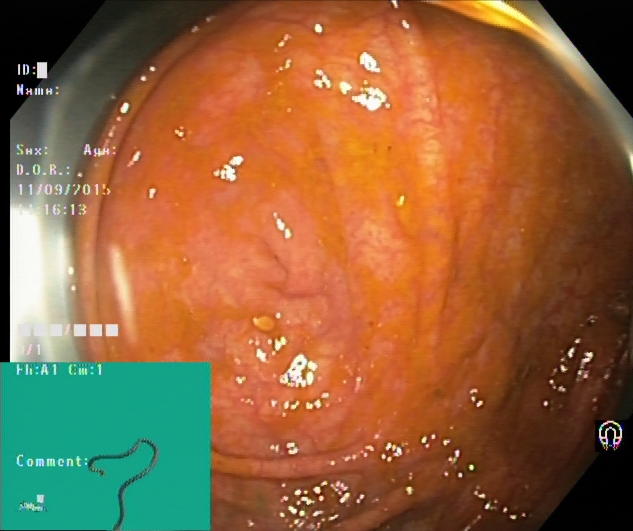Lower-GI endoscopy — cecum.